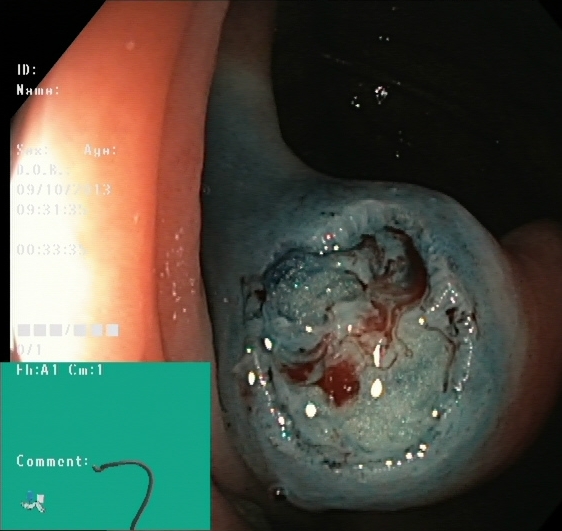Lower-GI endoscopy — dyed resection margins (post-polypectomy).